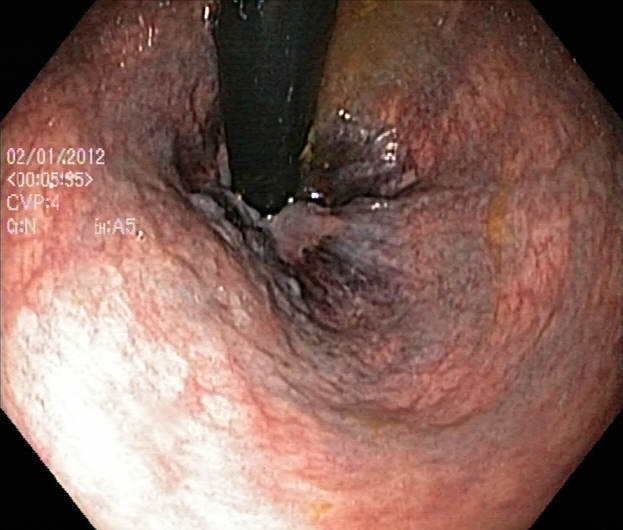Lower gastrointestinal endoscopy. Anatomical landmark. Finding: rectum in retroflexion.